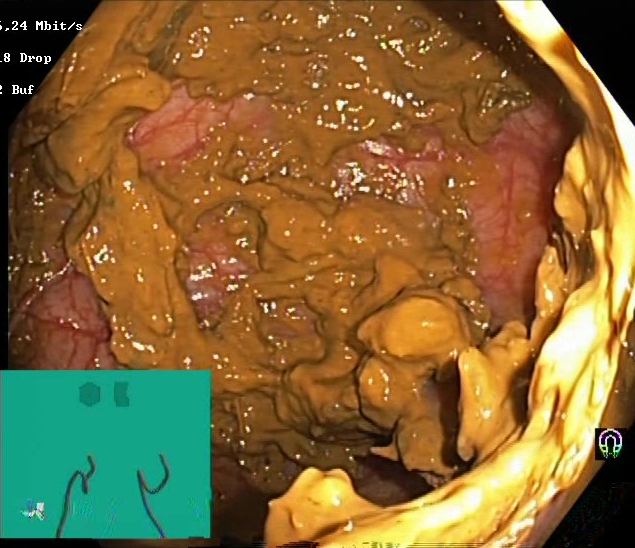BBPS score 0–1 (inadequate preparation).